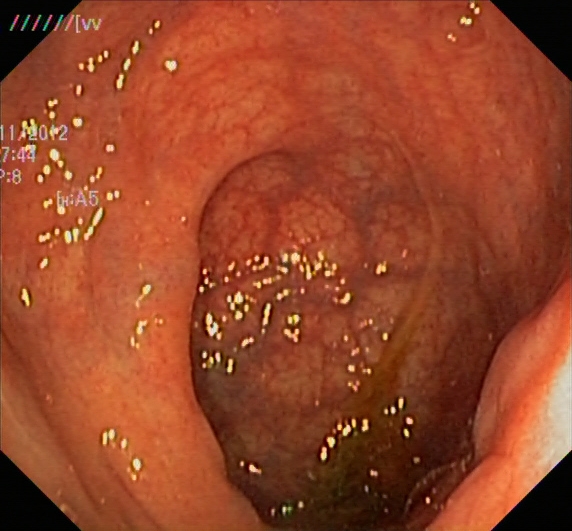Gastrointestinal endoscopy image of the lower GI tract showing ulcerative colitis, Mayo endoscopic subscore 1.